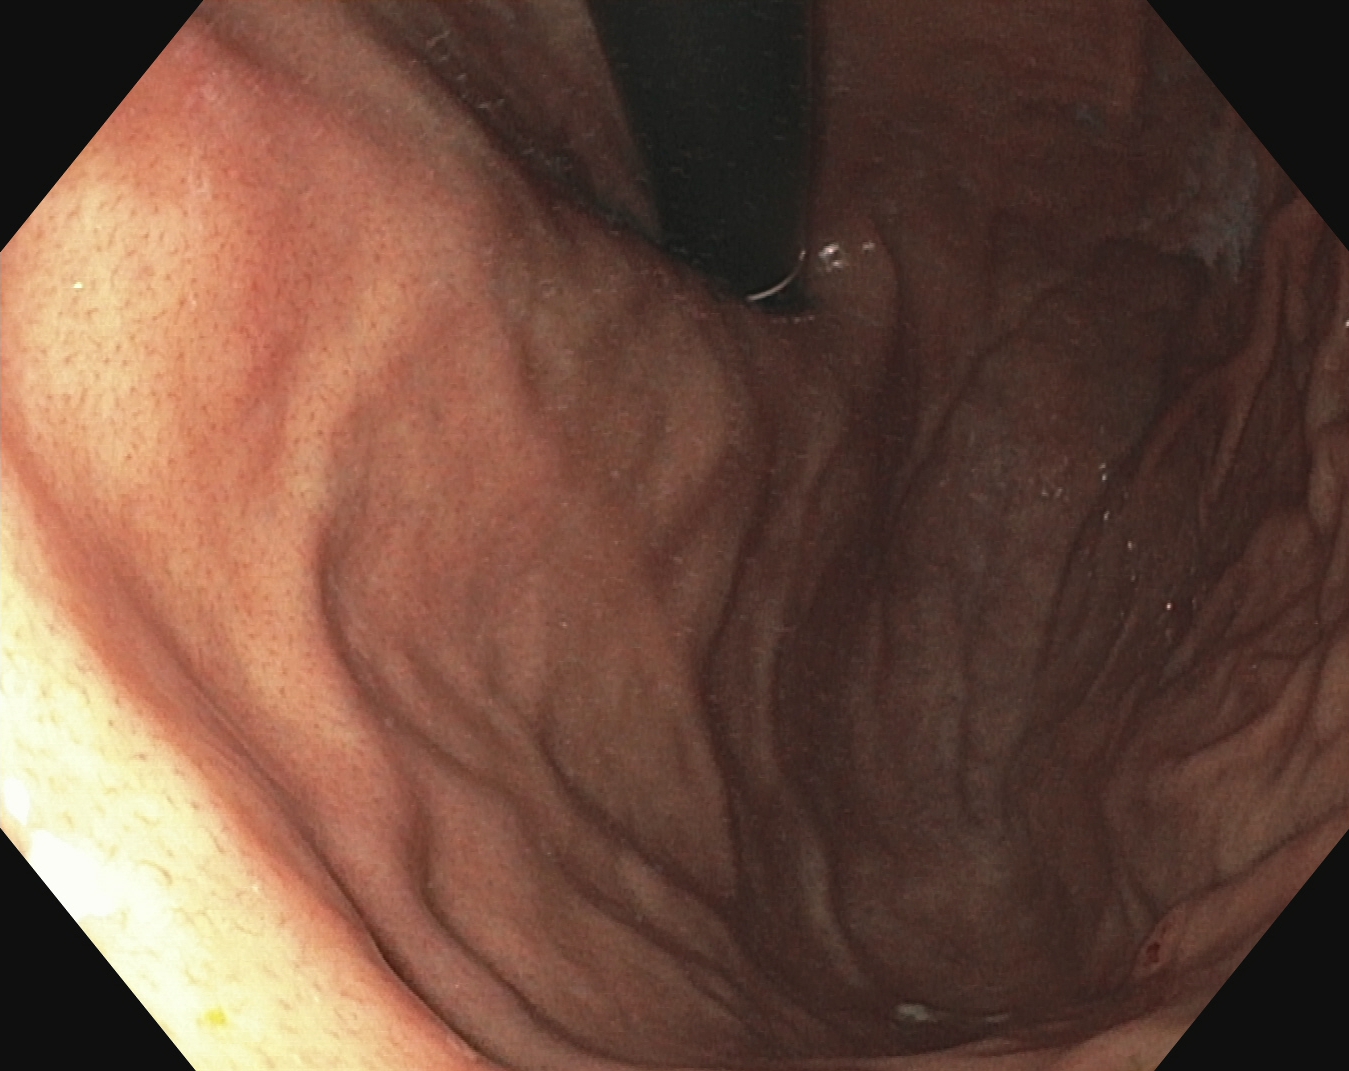This endoscopic image shows stomach in retroflexion.